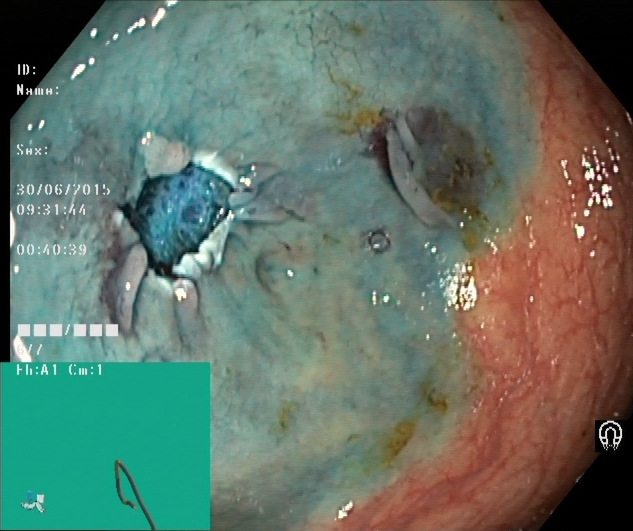Colonoscopy image showing dyed resection margins (post-polypectomy).